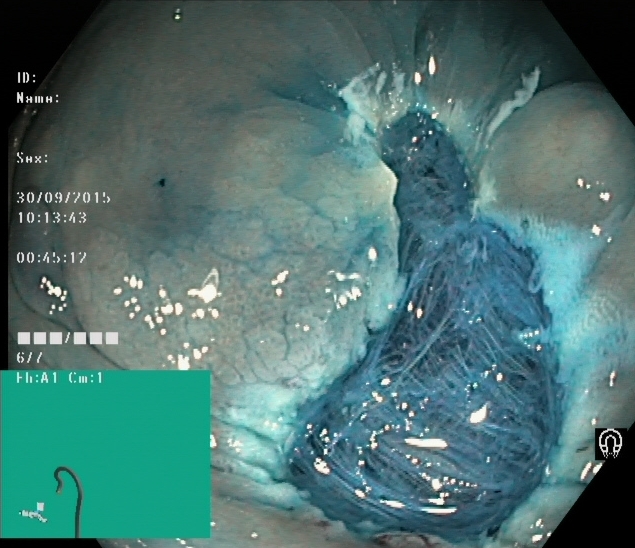Dyed resection margins (post-polypectomy).